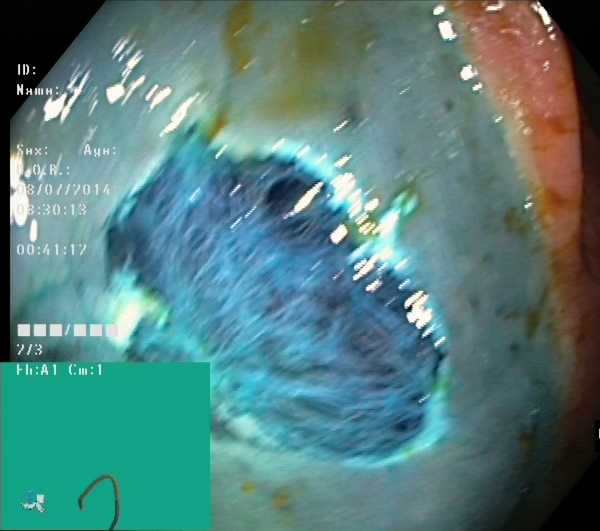Dyed resection margins (post-polypectomy).